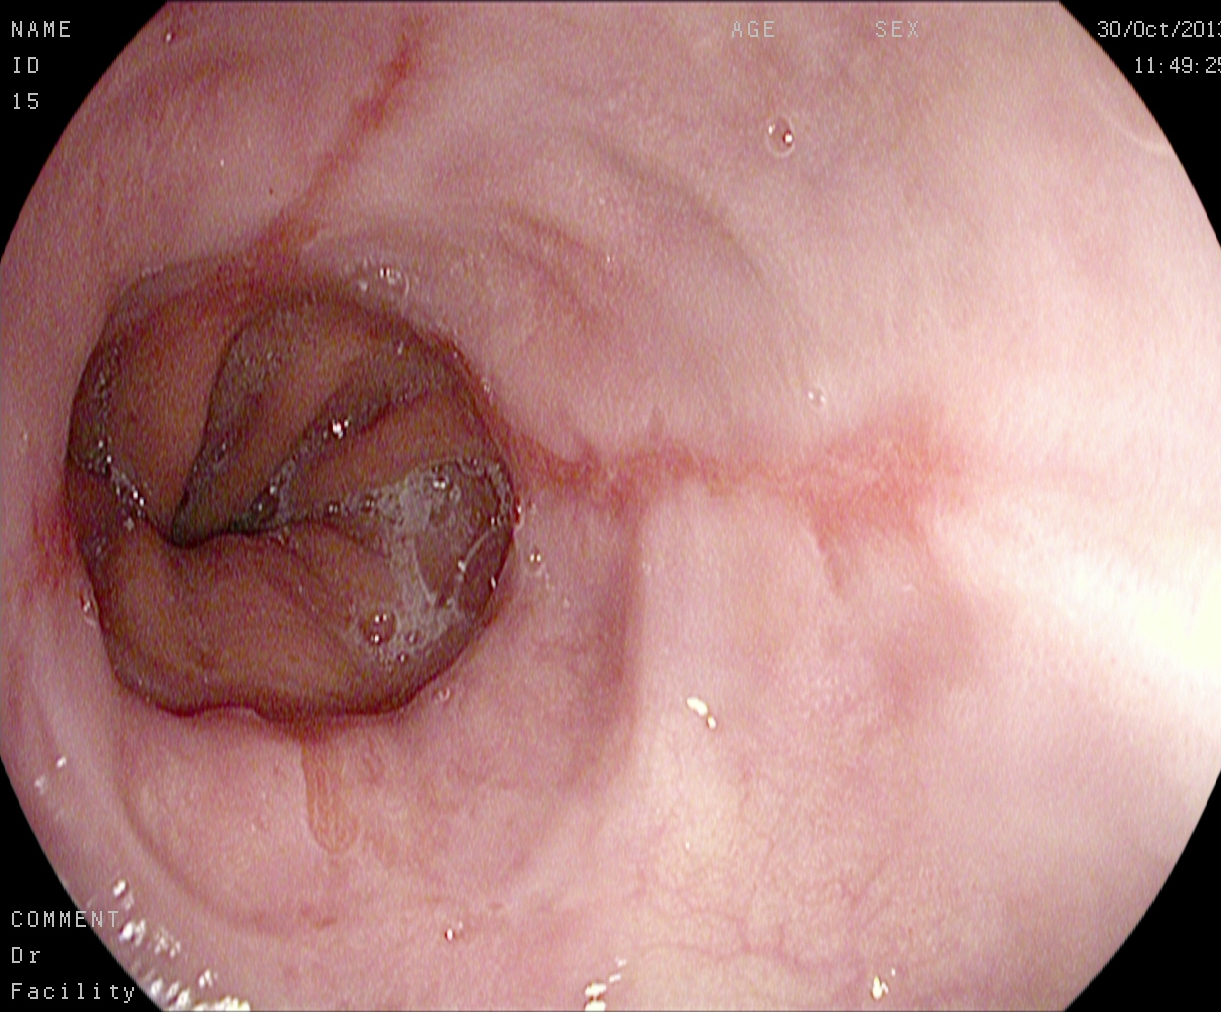EGD — reflux esophagitis, Los Angeles grade B–D.